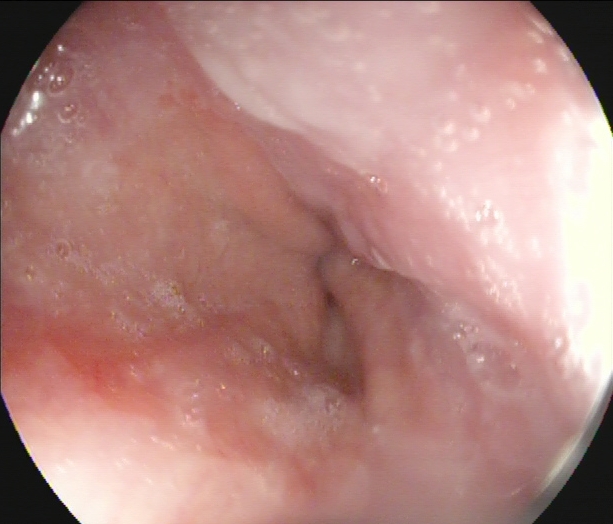PROCEDURE: EGD.
FINDINGS: Z-line (gastroesophageal junction).